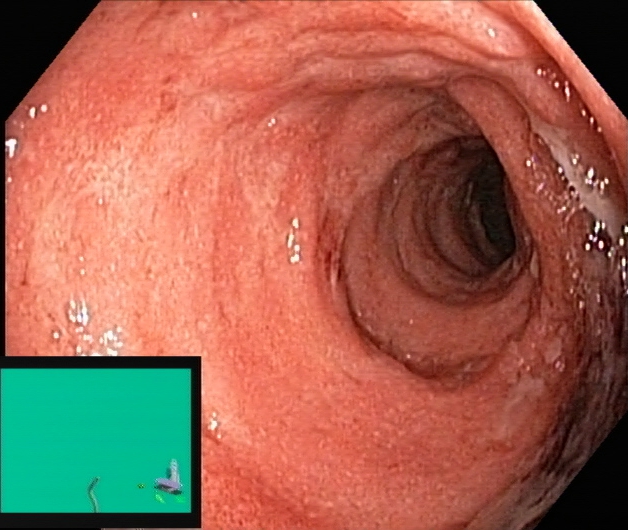UC, Mayo endoscopic subscore 2.